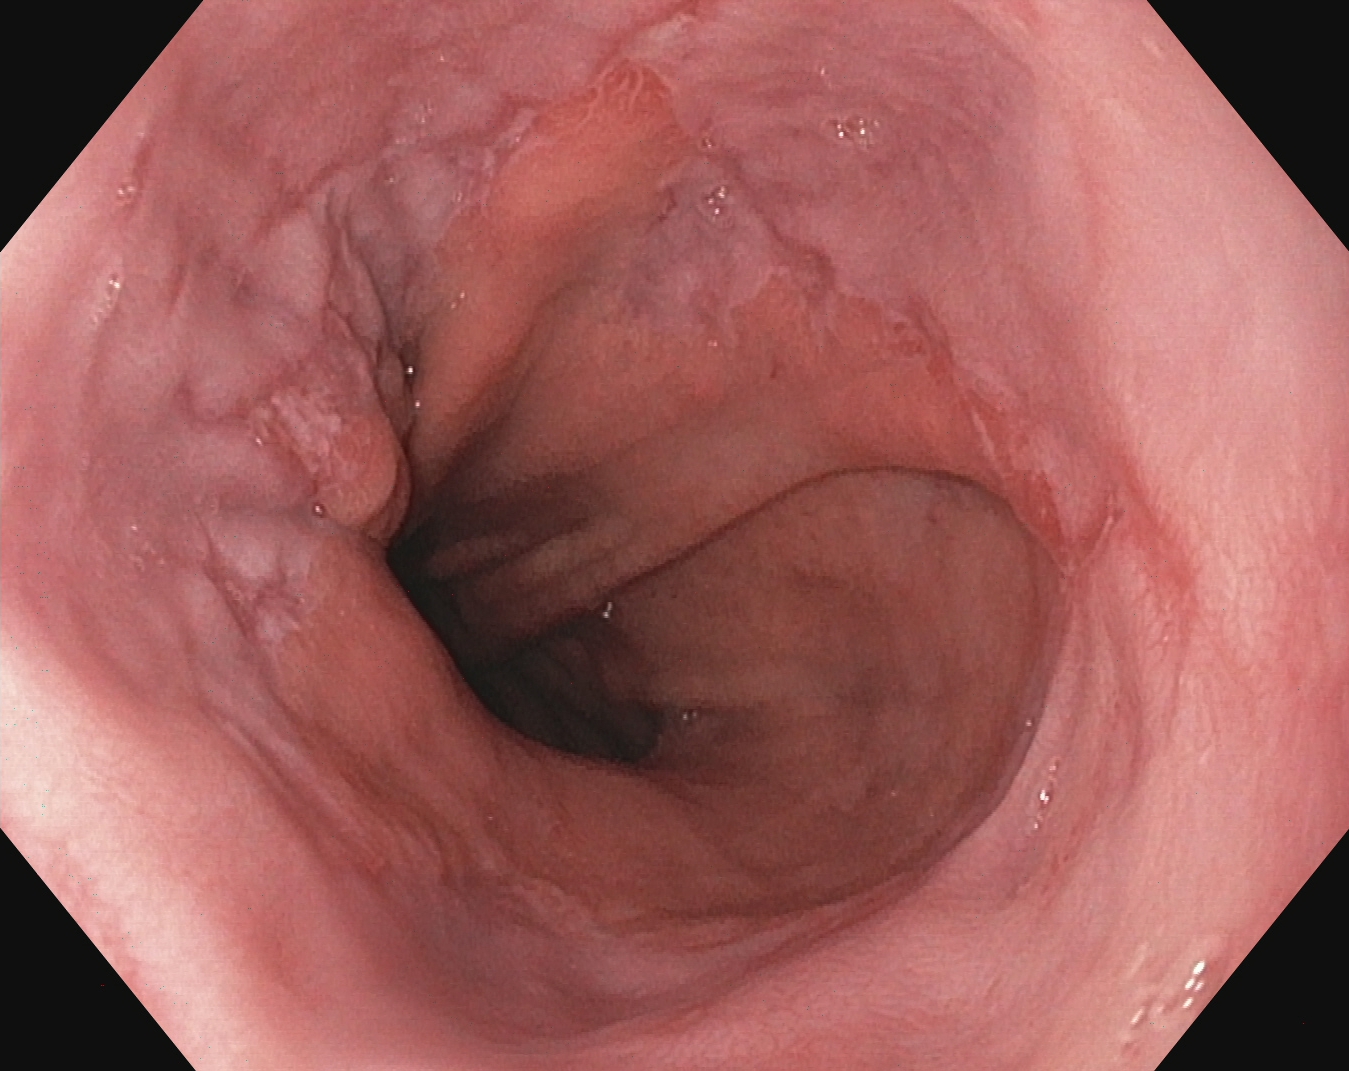EGD. Tract: upper GI tract. Finding: reflux esophagitis, Los Angeles grade B–D.